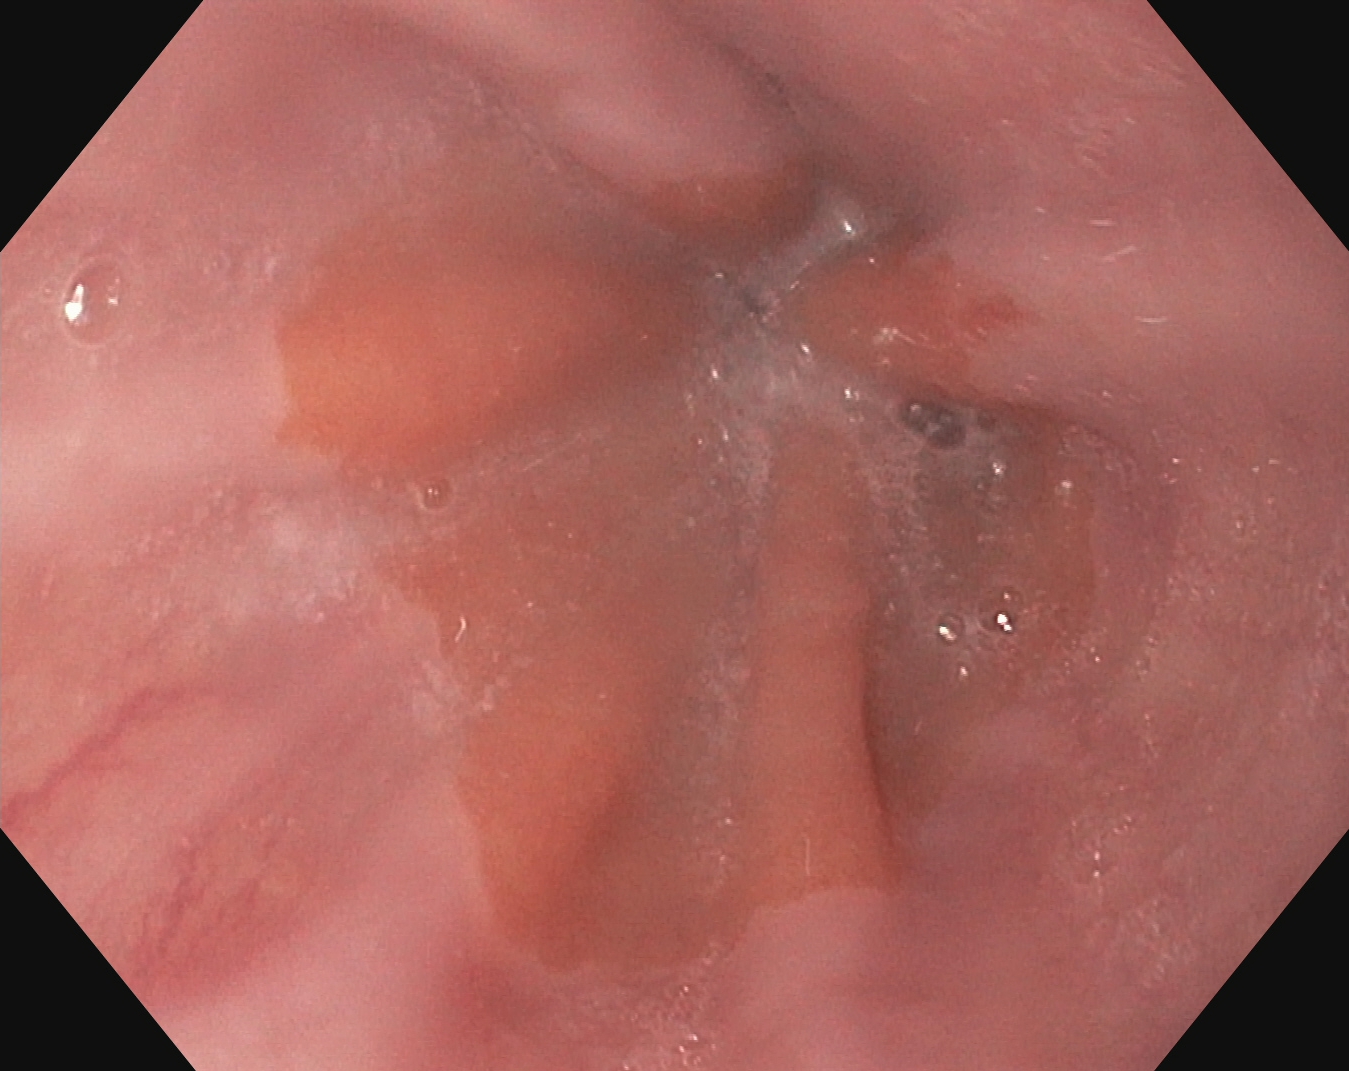Upper-GI endoscopy. Tract: upper GI tract. Finding: reflux esophagitis, LA grade A.